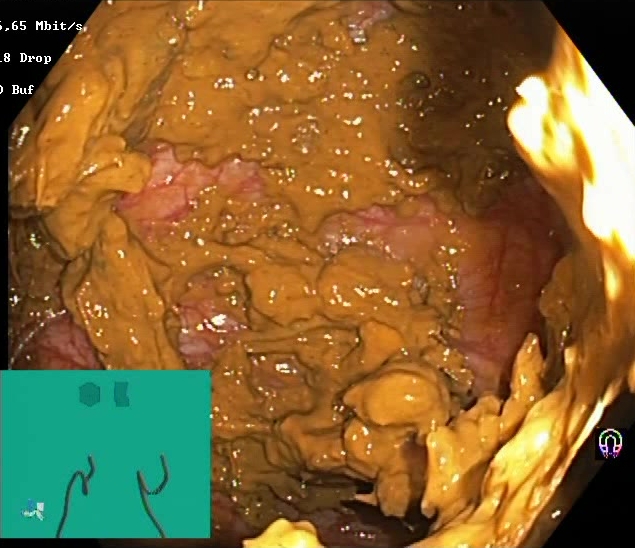Lower gastrointestinal endoscopy. Tract: lower GI tract. Finding: BBPS score 0–1 (inadequate preparation).